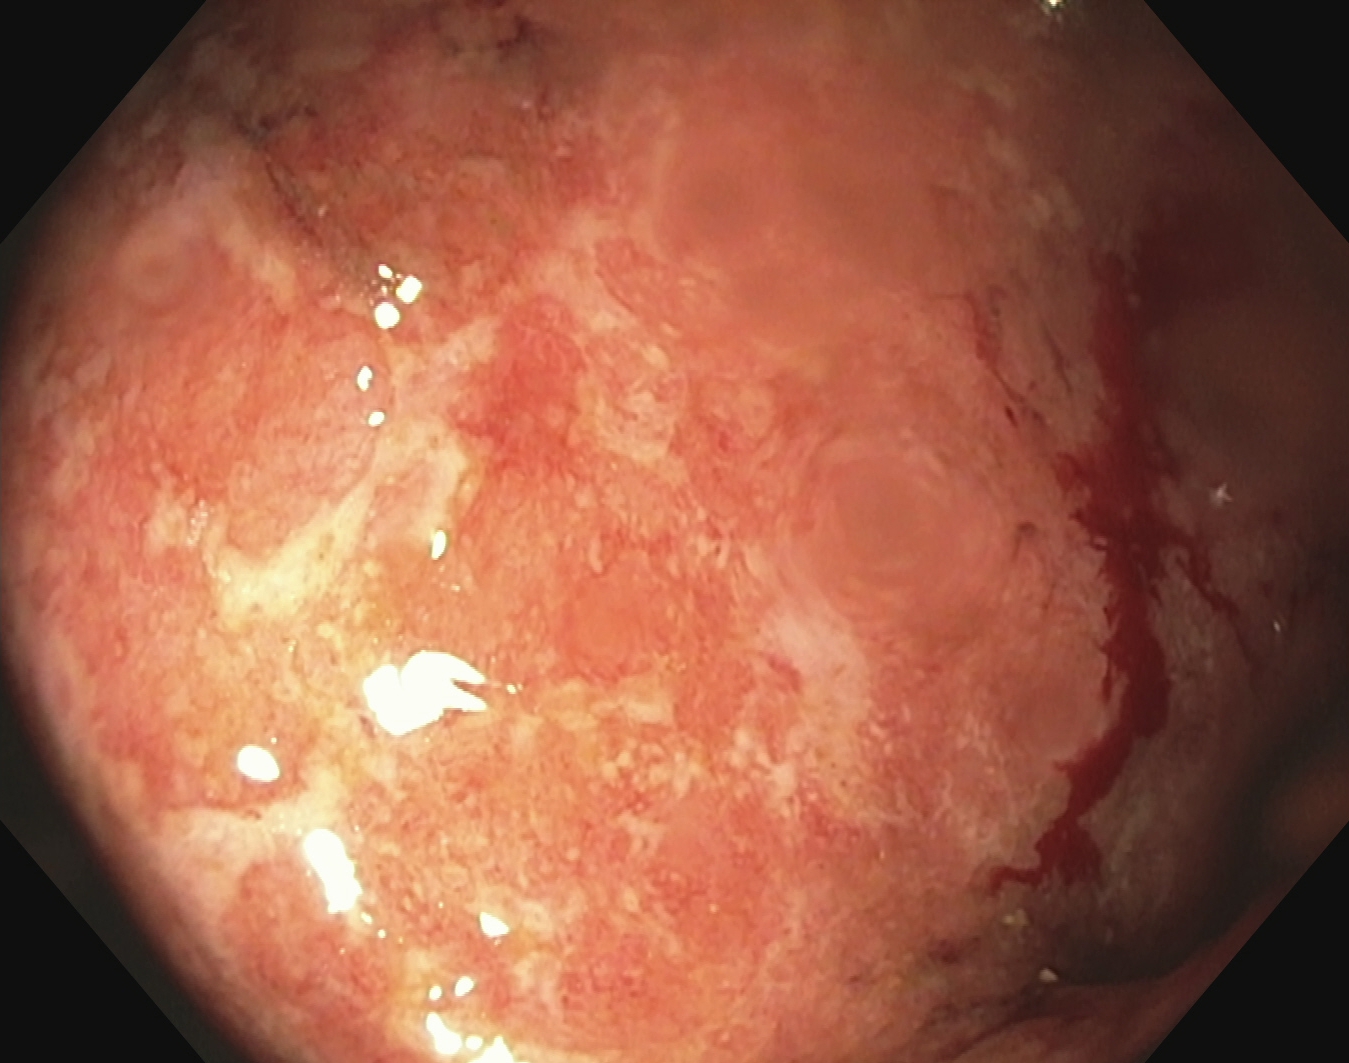PROCEDURE: Colonoscopy.
FINDINGS: UC, Mayo endoscopic subscore 2.